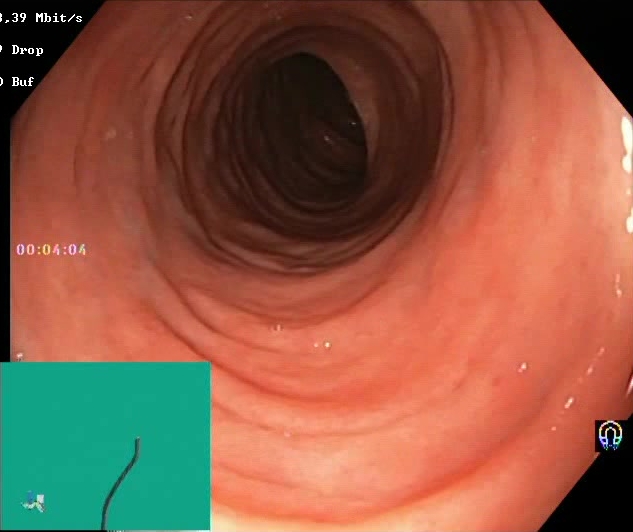Lower-GI endoscopy. Tract: lower GI tract. Finding: BBPS score 2–3 (adequate preparation).